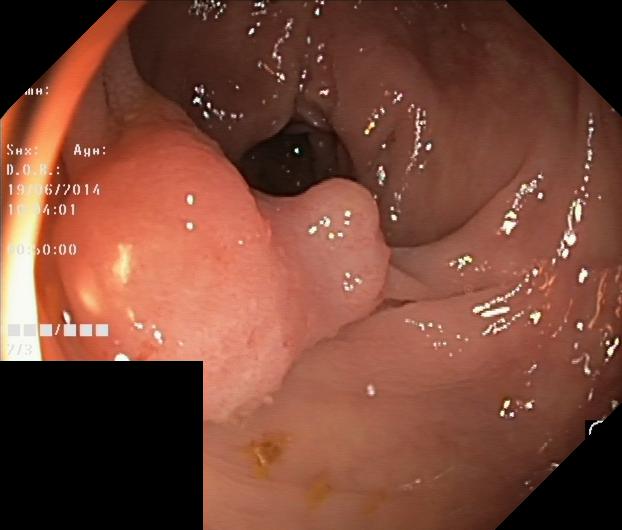This endoscopic image of the lower GI tract shows colorectal polyp(s).